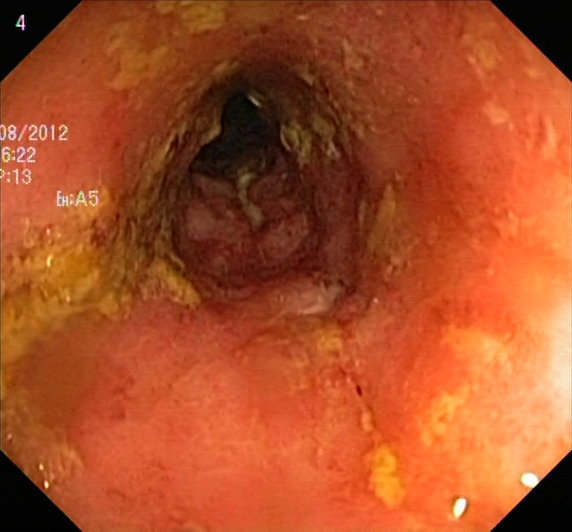This endoscopy frame of the lower GI tract shows ulcerative colitis, Mayo endoscopic subscore 2.